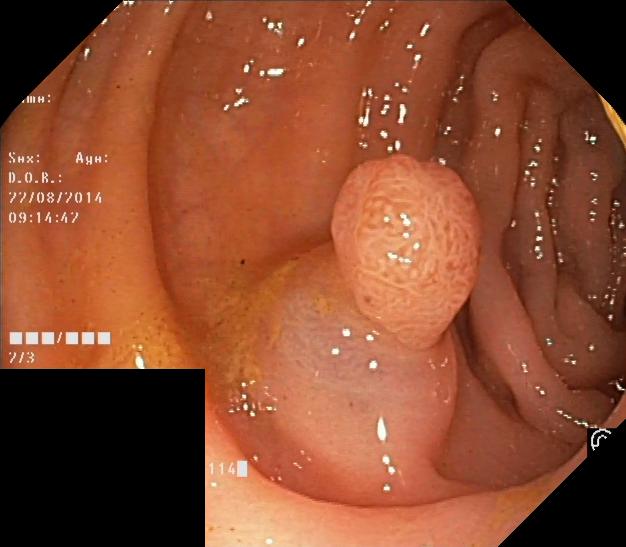PROCEDURE: Lower gastrointestinal endoscopy.
FINDINGS: Colorectal polyp(s).